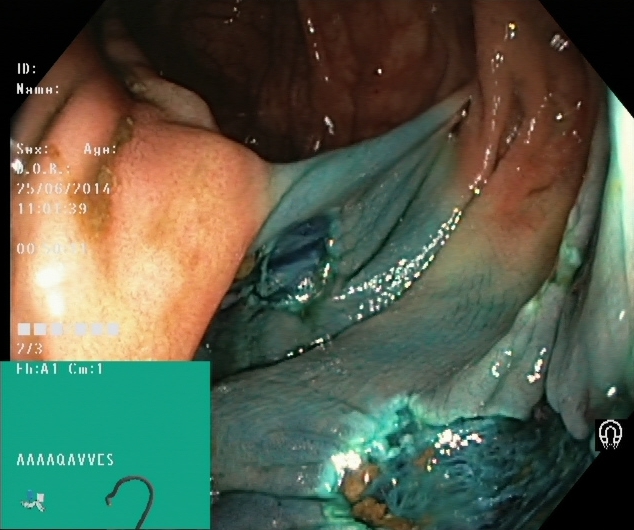{"modality": "colonoscopy", "category": "therapeutic intervention", "finding": "dyed resection margins (post-polypectomy)"}